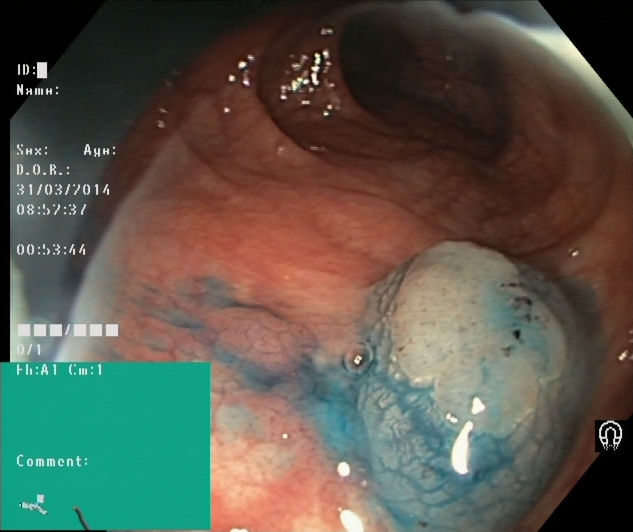PROCEDURE: Lower-GI endoscopy.
CATEGORY: Therapeutic intervention.
FINDINGS: Dyed and lifted polyp (pre-resection).